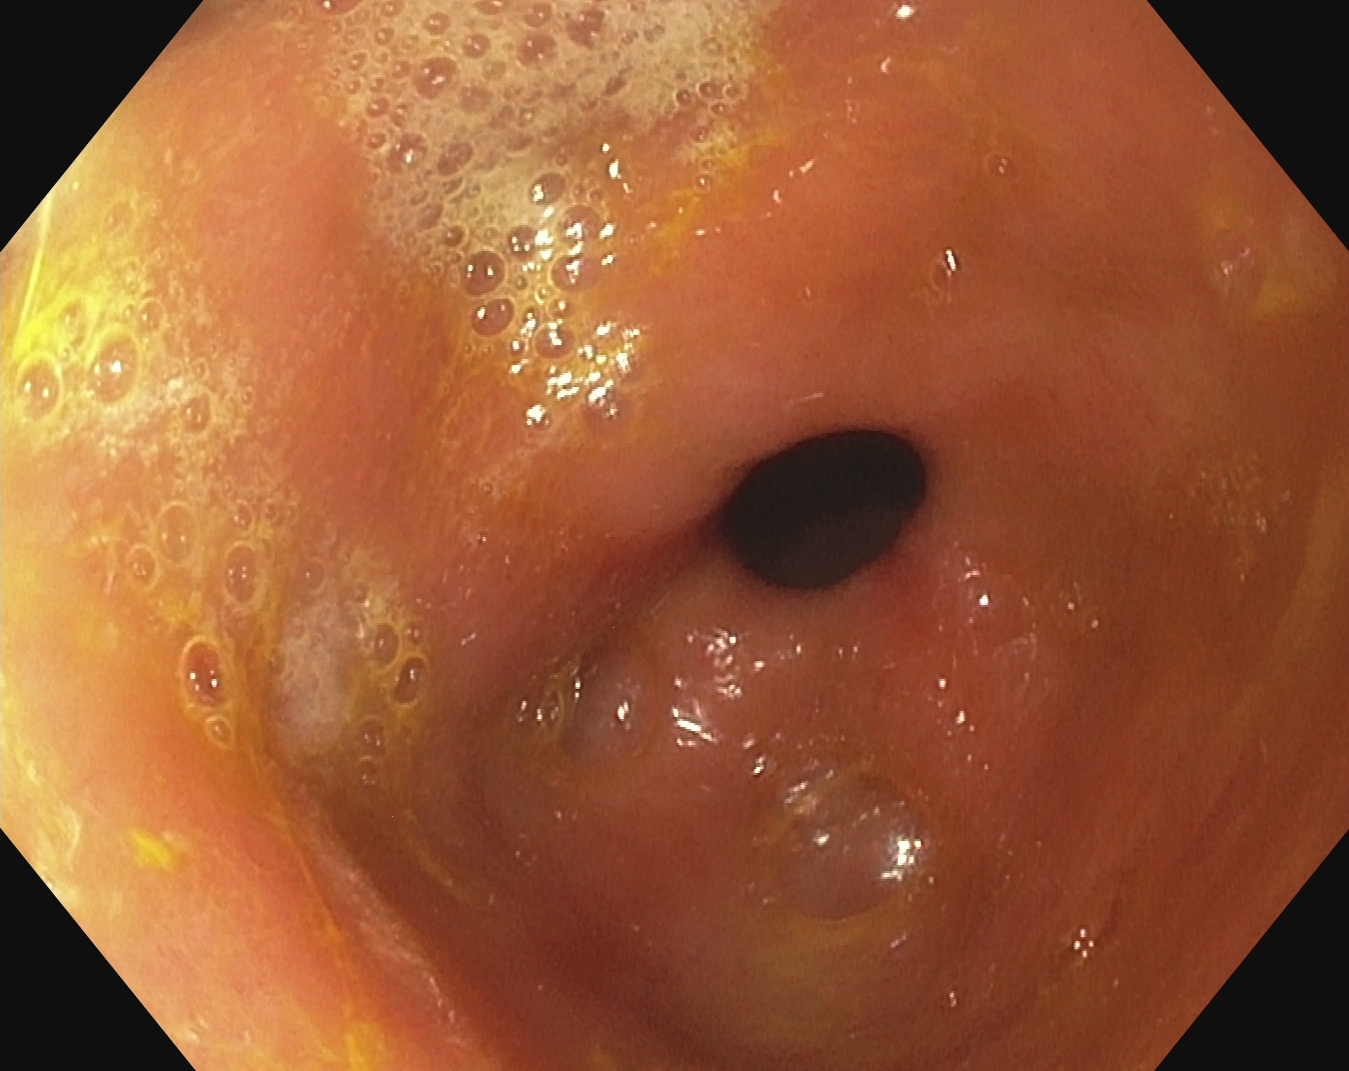EGD. Tract: upper GI tract. Finding: pylorus.